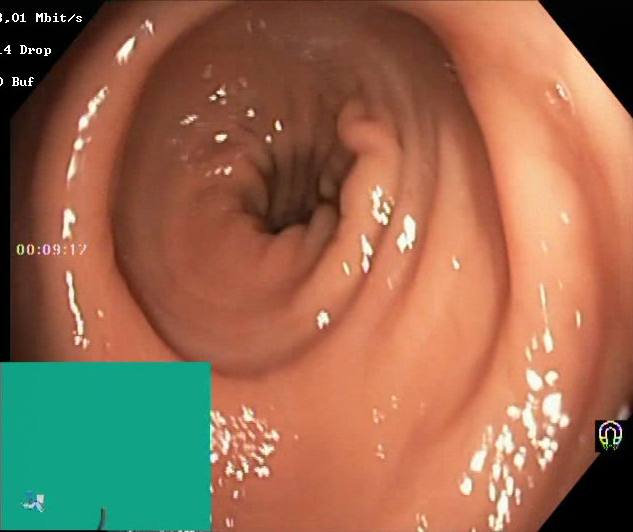Lower gastrointestinal endoscopy. Tract: lower GI tract. Finding: Boston Bowel Preparation Scale score 2–3 (adequate preparation).